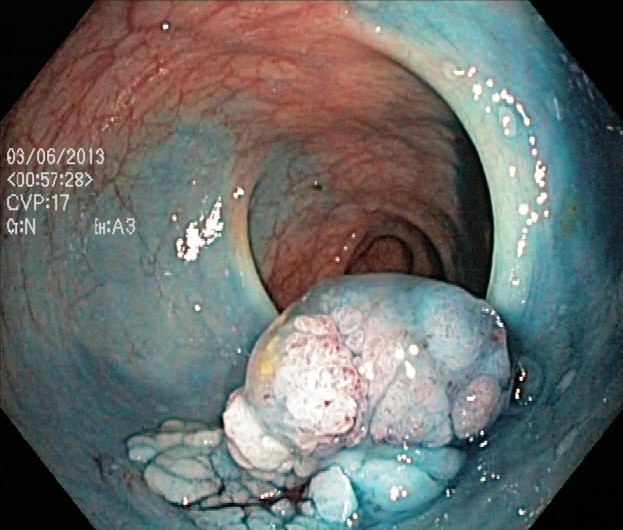{"modality": "colonoscopy", "tract": "lower GI tract", "finding": "dyed and lifted polyp (pre-resection)"}